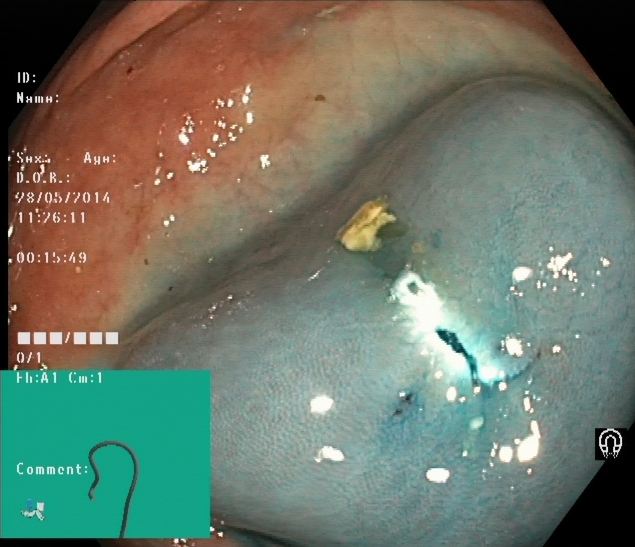Lower-GI endoscopy. Therapeutic intervention. Finding: dyed resection margins (post-polypectomy).